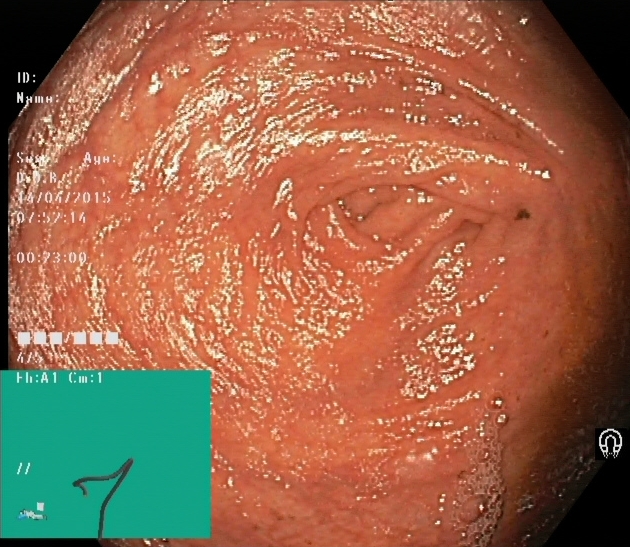{"modality": "lower-GI endoscopy", "category": "anatomical landmark", "finding": "cecum"}